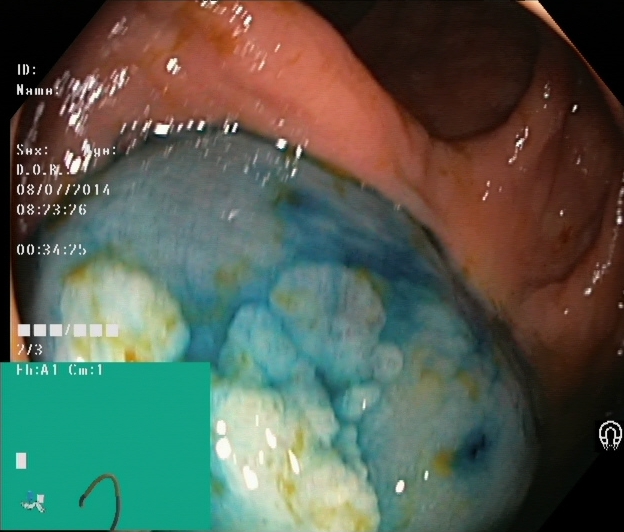{"modality": "lower-GI endoscopy", "tract": "lower GI tract", "finding": "dyed and lifted polyp (pre-resection)"}